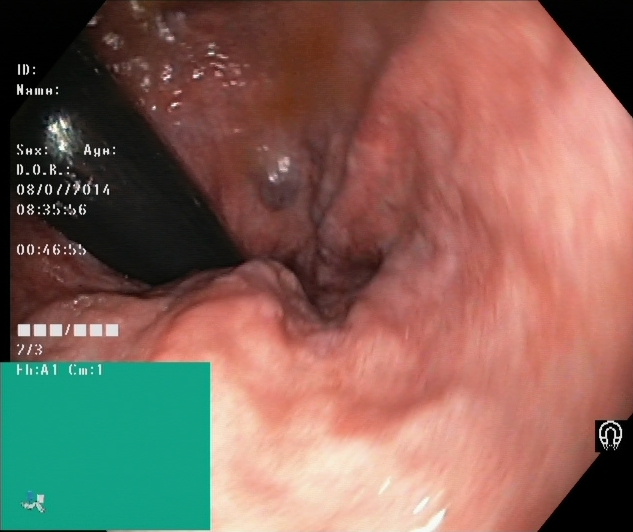PROCEDURE: Lower gastrointestinal endoscopy.
FINDINGS: Hemorrhoids.